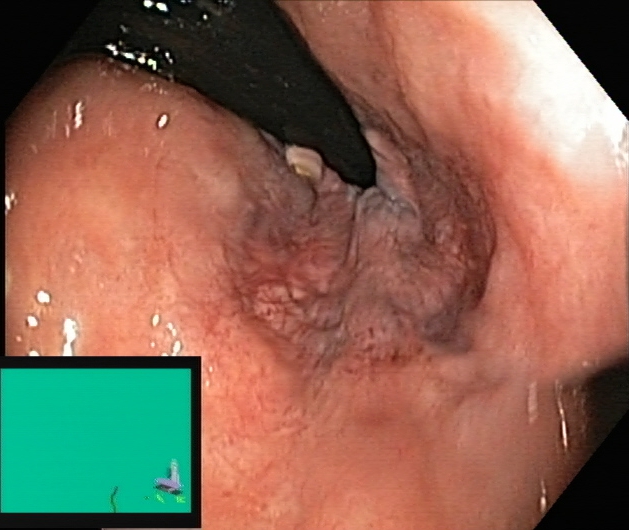This endoscopy frame shows rectum in retroflexion.